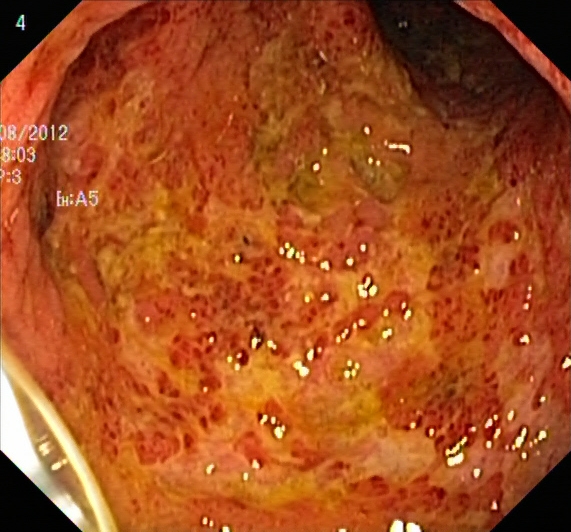This endoscopy frame of the lower GI tract shows ulcerative colitis, Mayo endoscopic subscore 3.